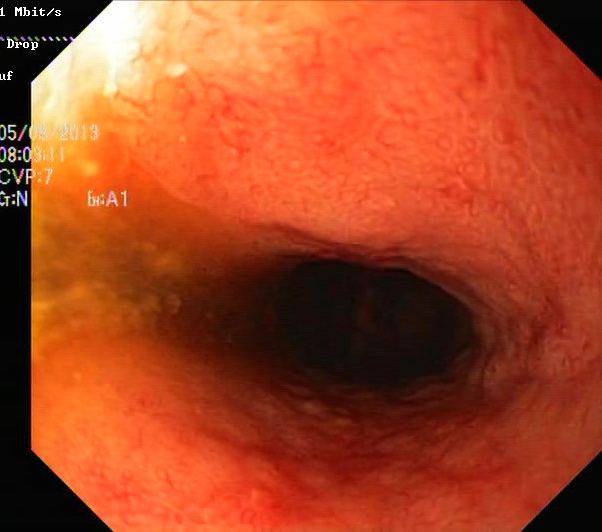modality: lower gastrointestinal endoscopy
finding: ulcerative colitis, Mayo endoscopic subscore 3